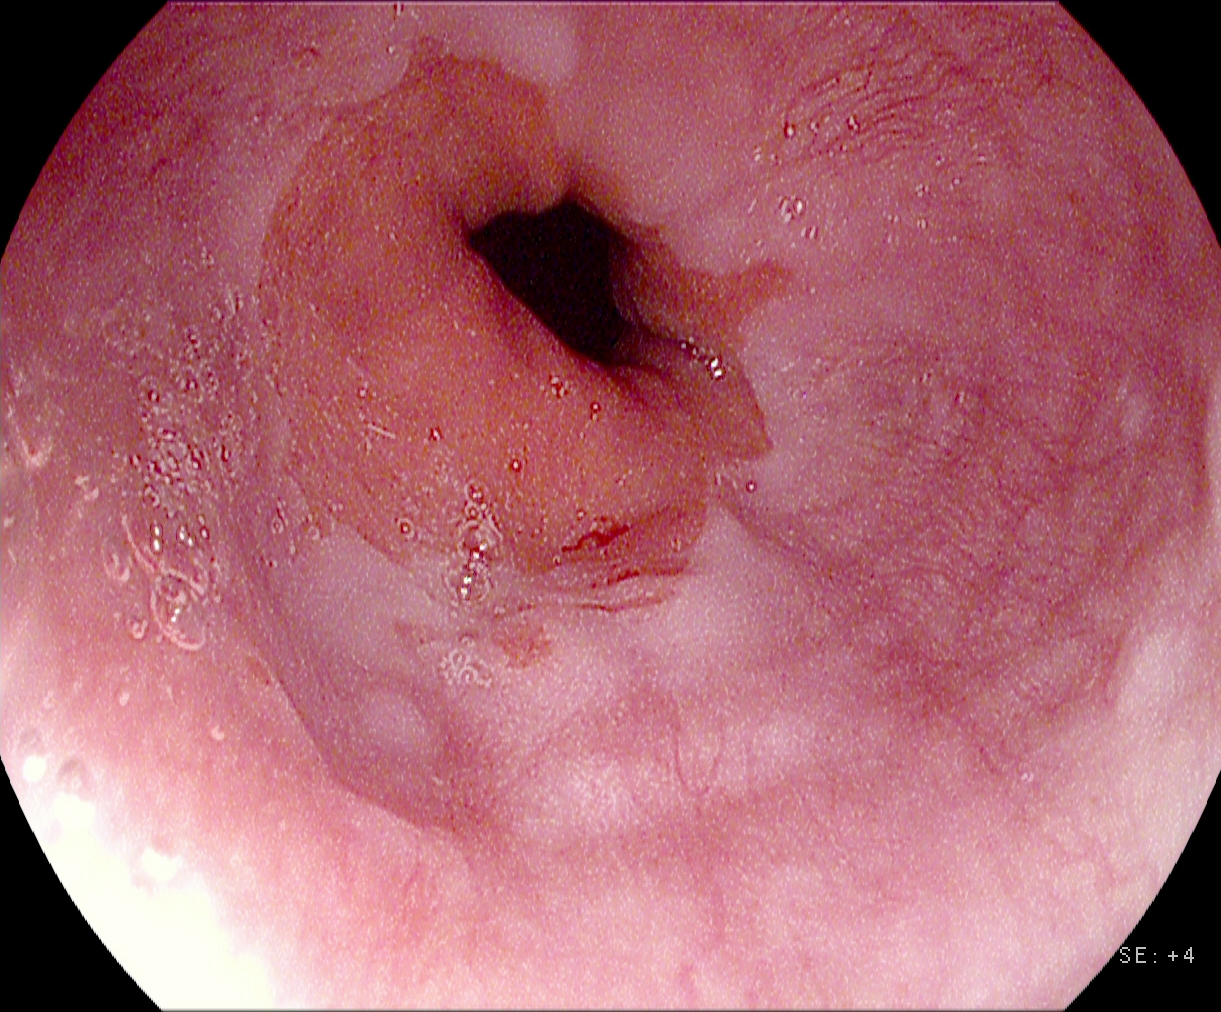{"modality": "upper-GI endoscopy", "tract": "upper GI tract", "category": "anatomical landmark", "finding": "Z-line (gastroesophageal junction)"}